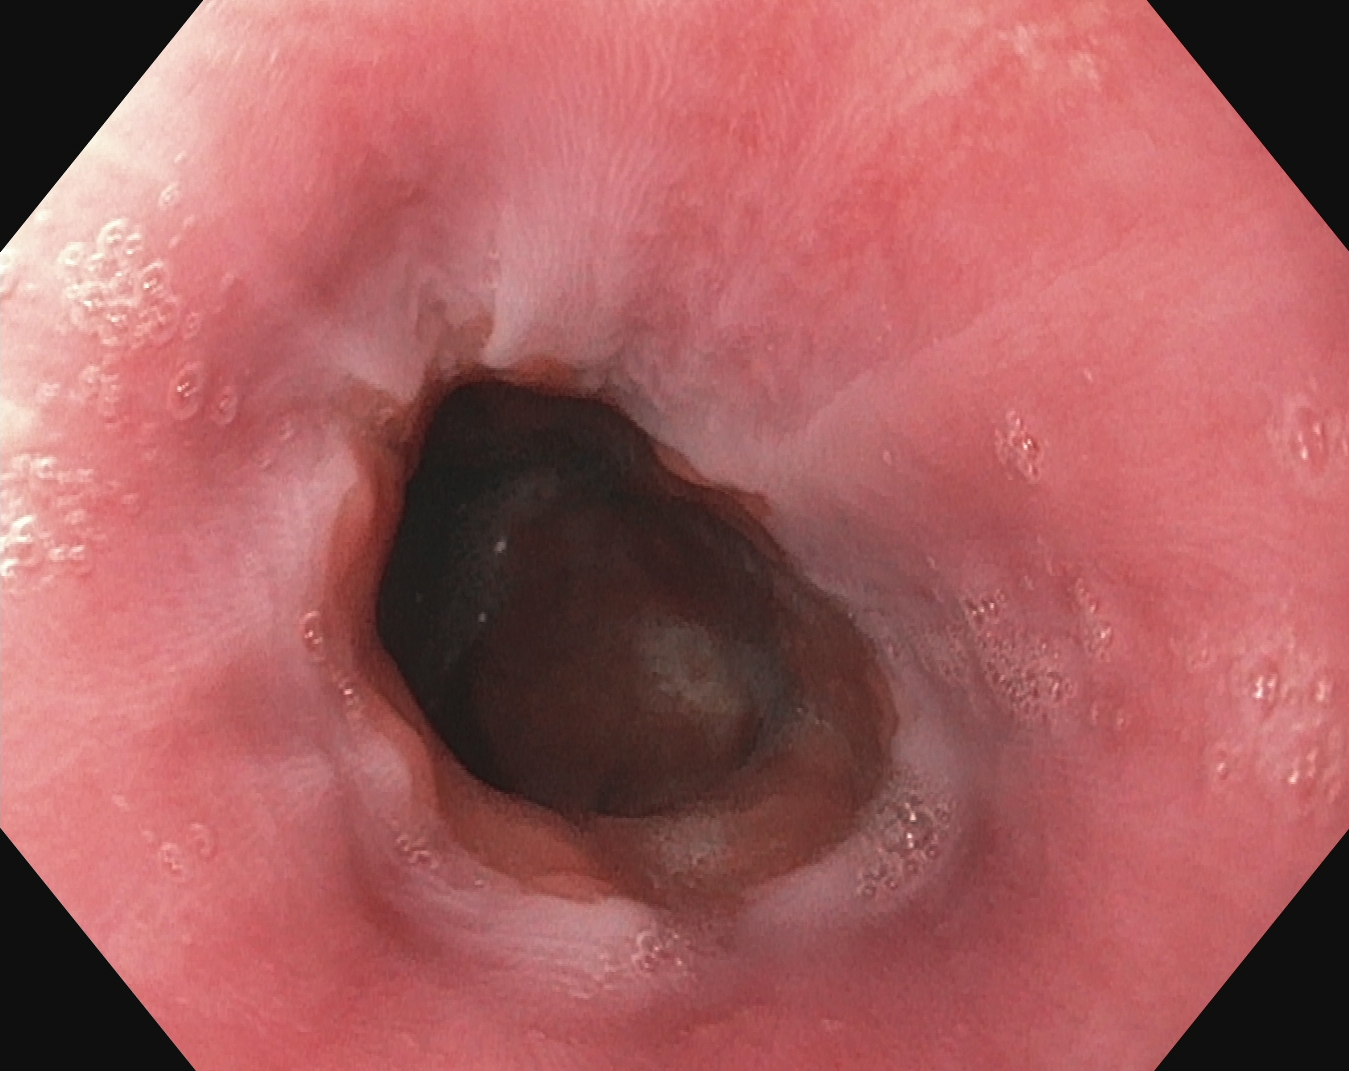PROCEDURE: Gastroscopy.
FINDINGS: Z-line (gastroesophageal junction).